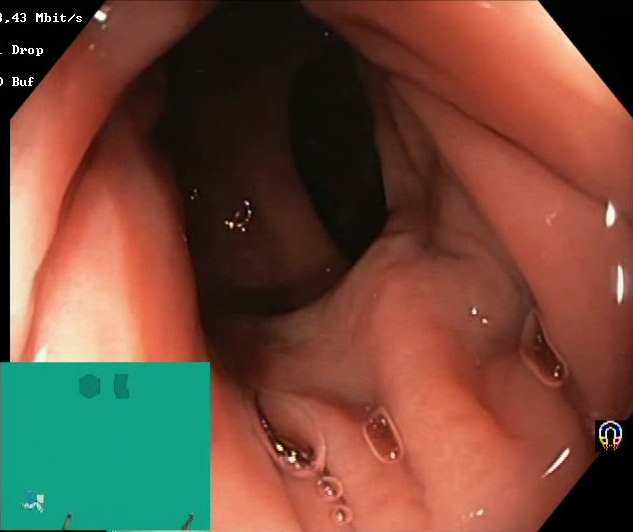Lower gastrointestinal endoscopy — Boston Bowel Preparation Scale score 2–3 (adequate preparation).